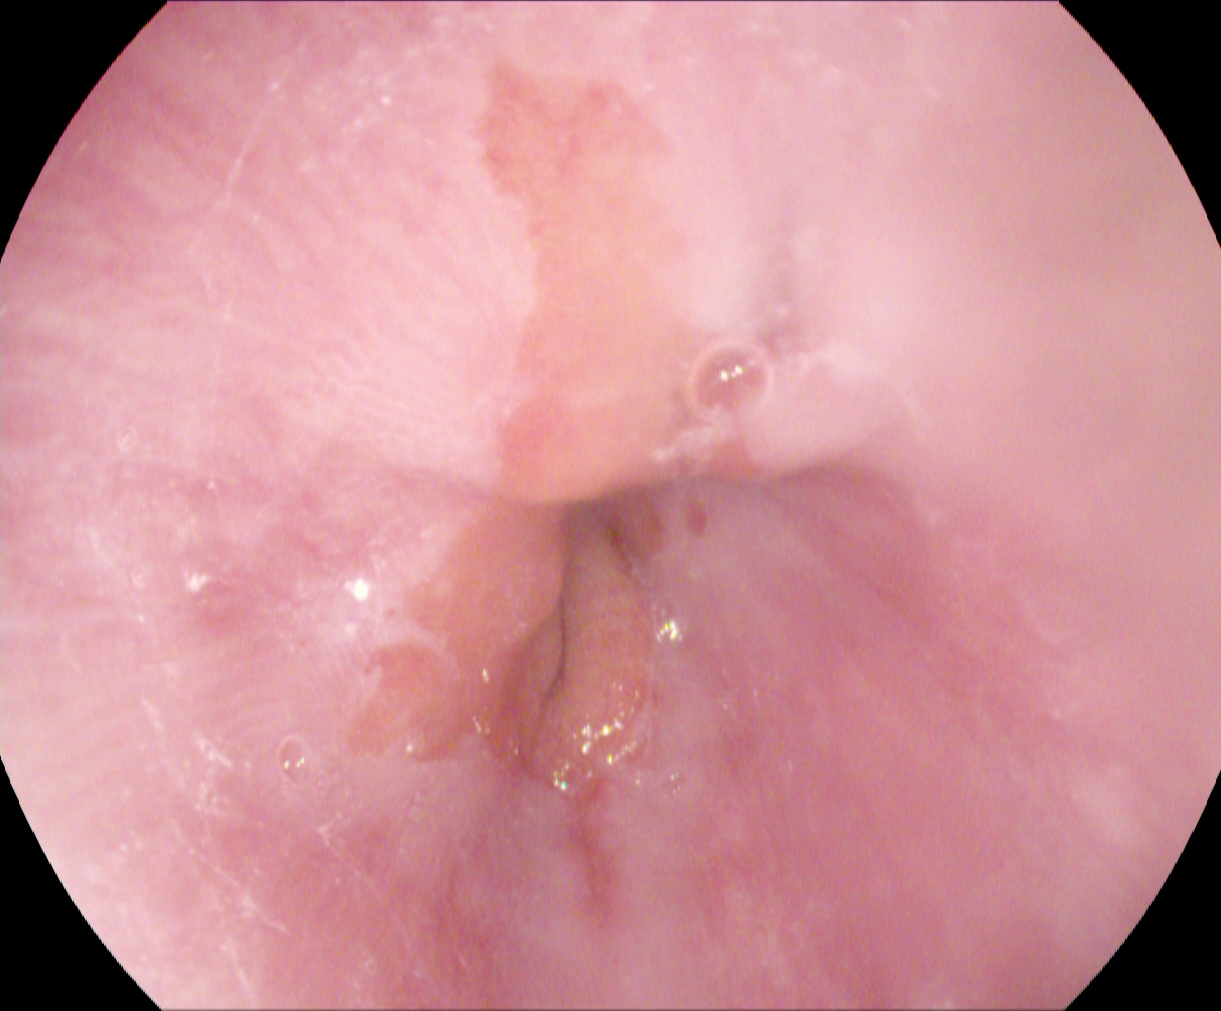modality: upper-GI endoscopy | finding: reflux esophagitis, Los Angeles grade A